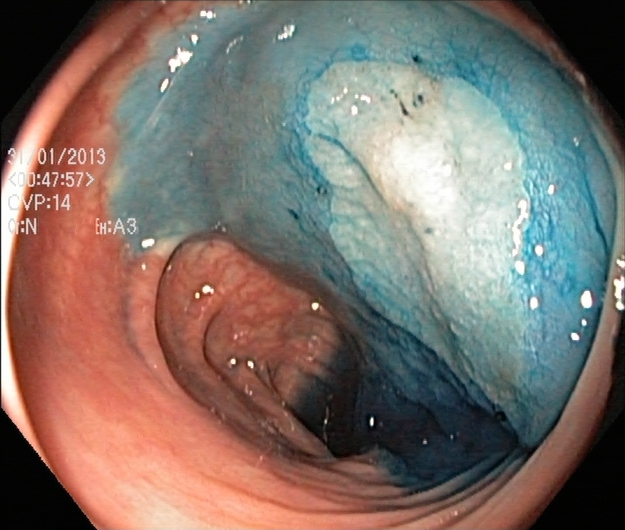PROCEDURE: Lower-GI endoscopy.
FINDINGS: Dyed and lifted polyp (pre-resection).